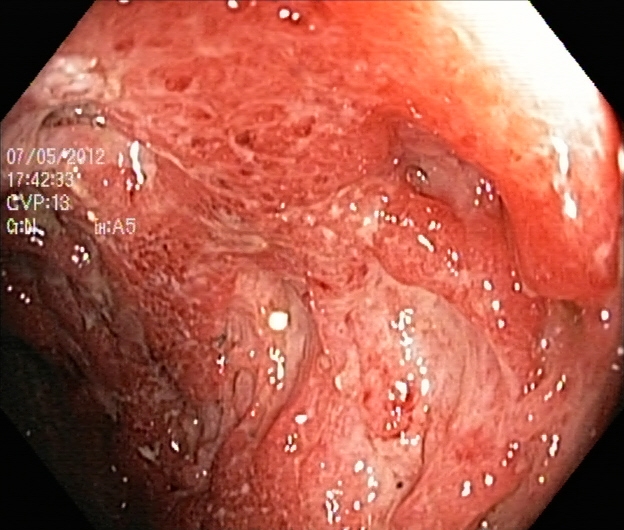Lower-GI endoscopy. Finding: UC, Mayo endoscopic subscore 3.